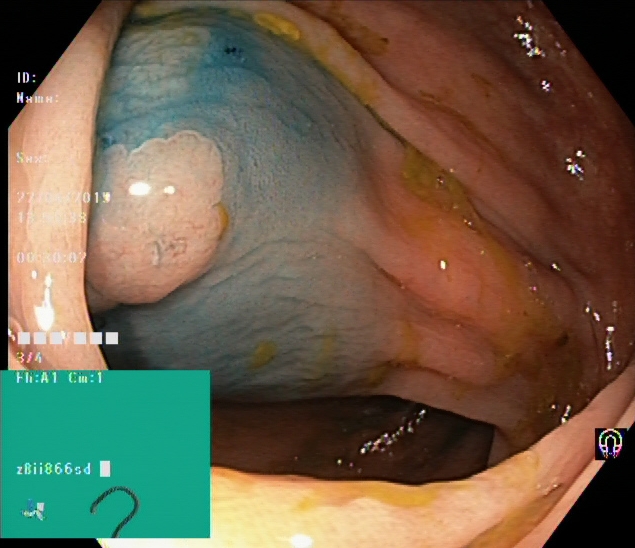PROCEDURE: Colonoscopy.
FINDINGS: Dyed and lifted polyp (pre-resection).